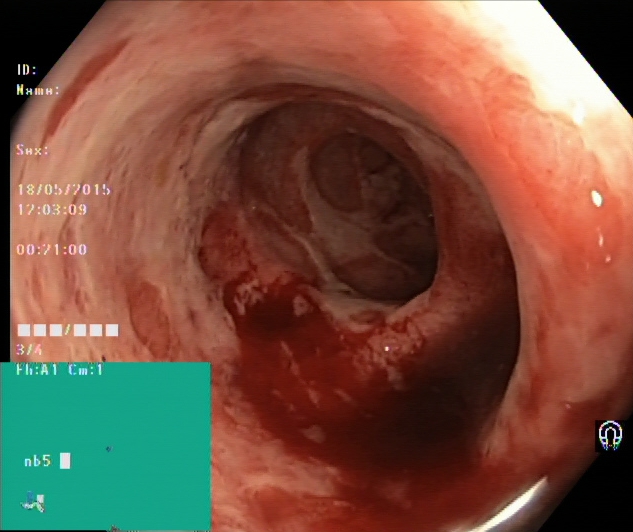Lower-GI endoscopy. Pathological finding. Finding: ulcerative colitis, Mayo endoscopic subscore 2.